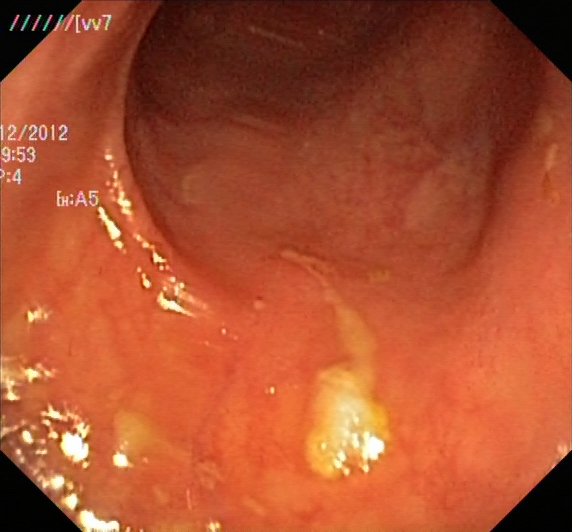This endoscopy frame of the lower GI tract shows ulcerative colitis, Mayo endoscopic subscore 0–1.